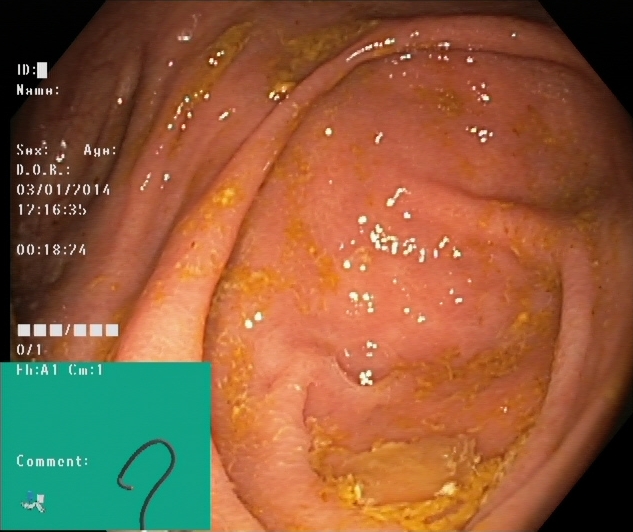{"modality": "lower gastrointestinal endoscopy", "finding": "cecum"}